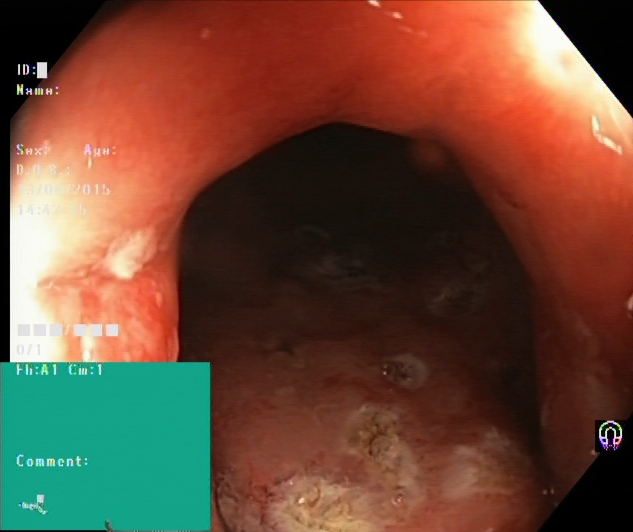UC, Mayo endoscopic subscore 3.